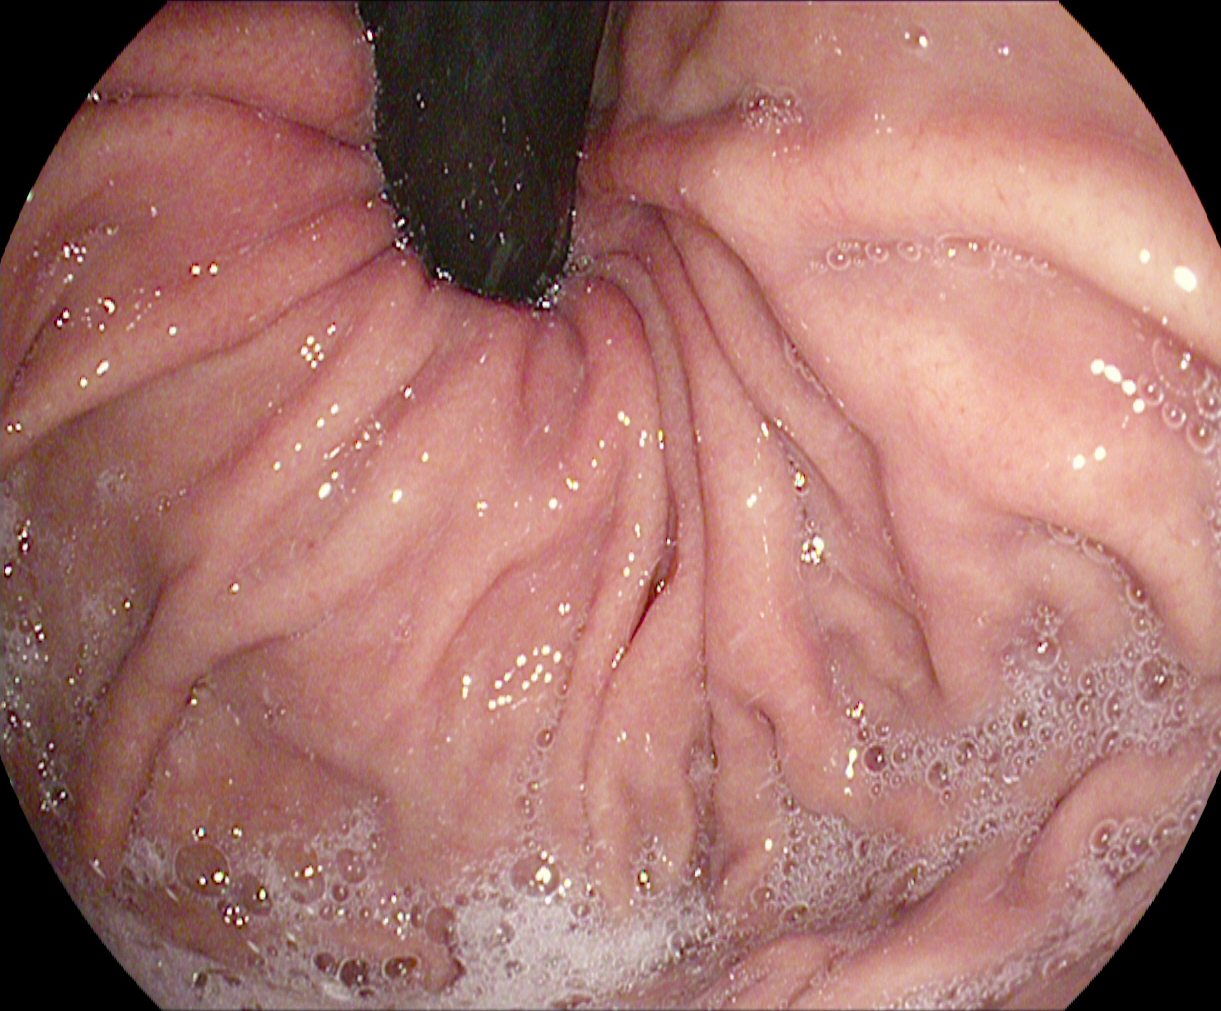PROCEDURE: Gastroscopy.
FINDINGS: Stomach in retroflexion.